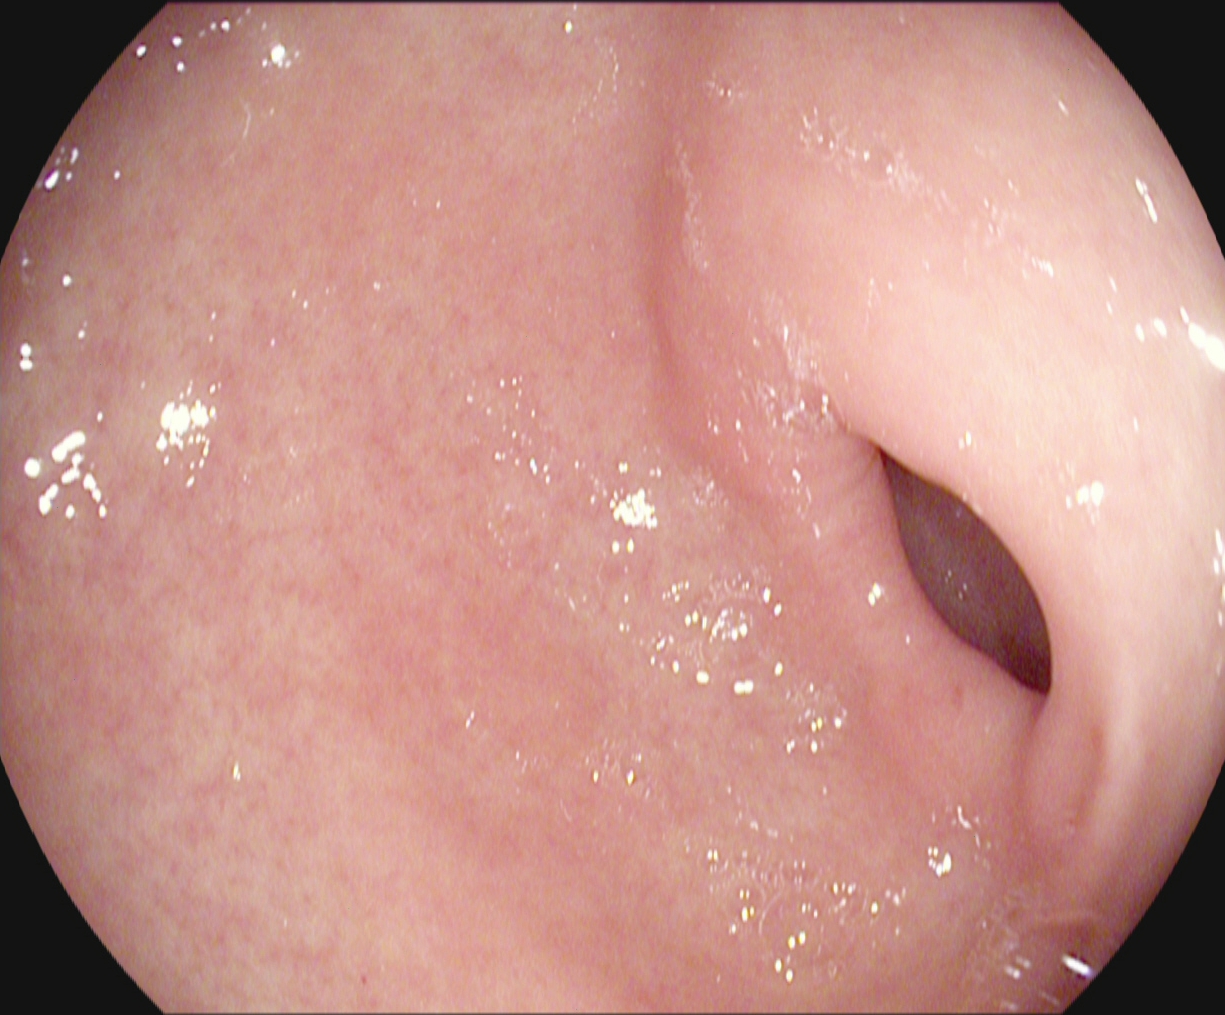PROCEDURE: Gastroscopy.
FINDINGS: Pylorus.